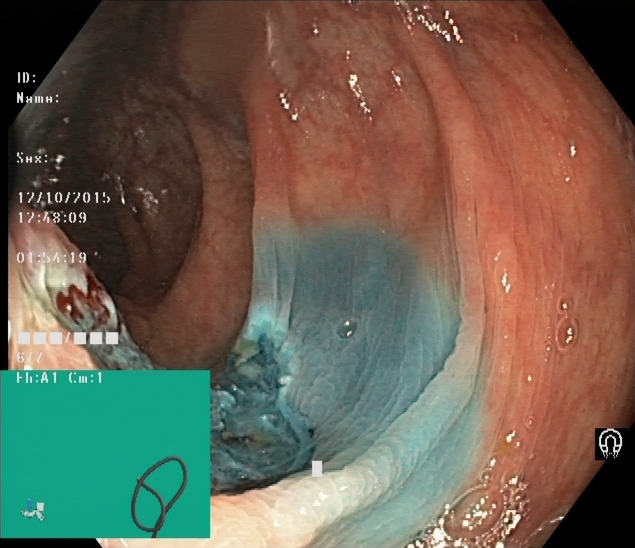This endoscopic image shows dyed resection margins (post-polypectomy).